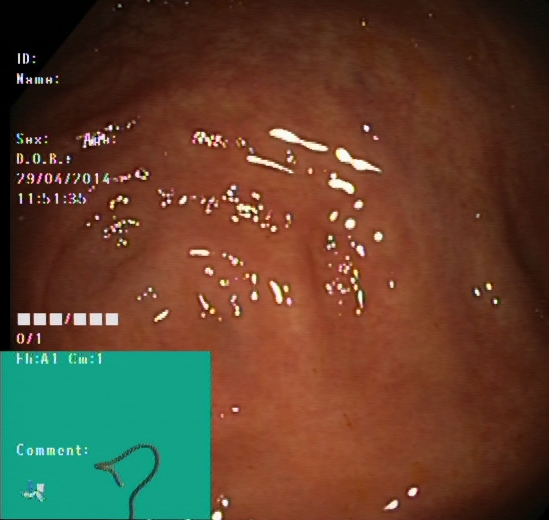This endoscopy frame shows cecum.